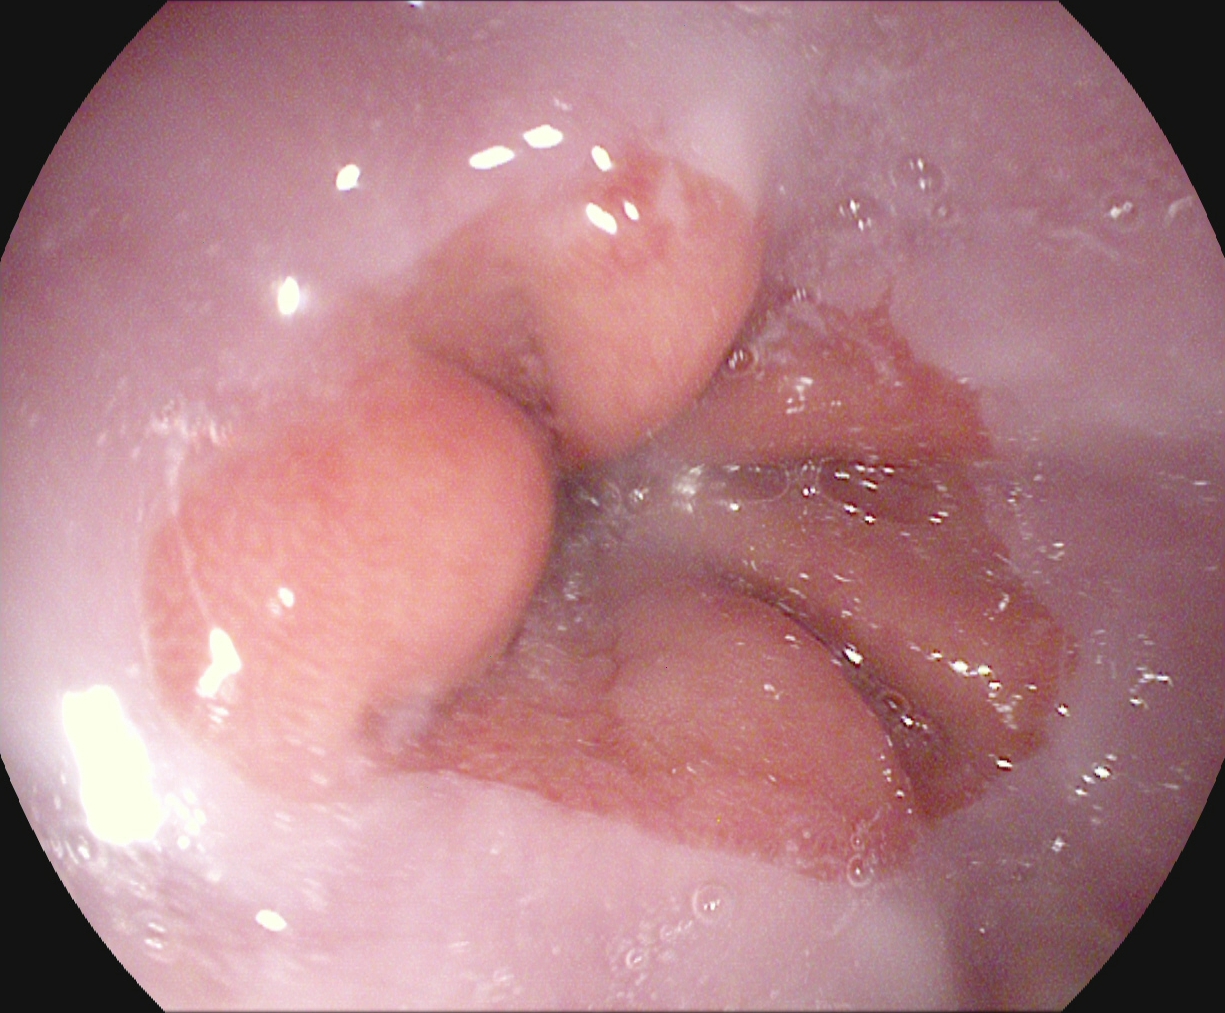Upper-GI endoscopy — Z-line (gastroesophageal junction).